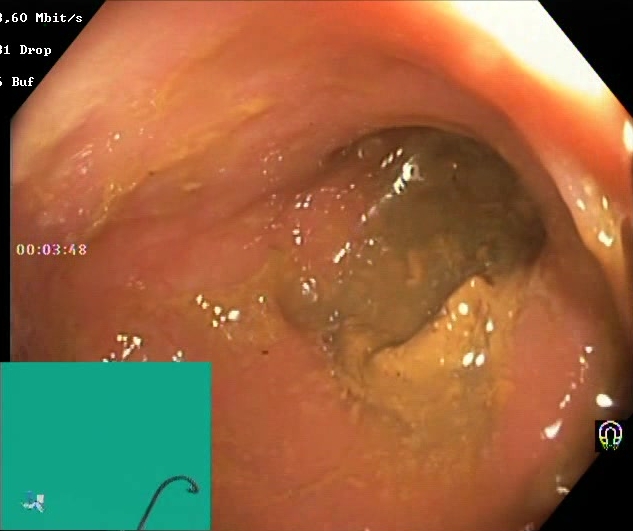{"modality": "lower-GI endoscopy", "category": "mucosal-view quality", "finding": "Boston Bowel Preparation Scale score 0\u20131 (inadequate preparation)"}